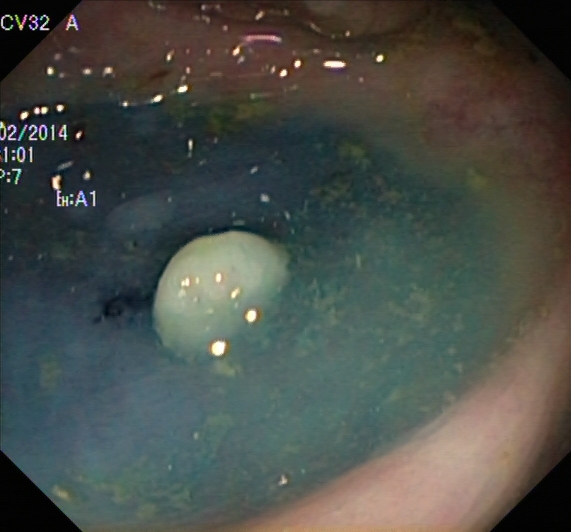PROCEDURE: Lower-GI endoscopy.
CATEGORY: Therapeutic intervention.
FINDINGS: Dyed and lifted polyp (pre-resection).